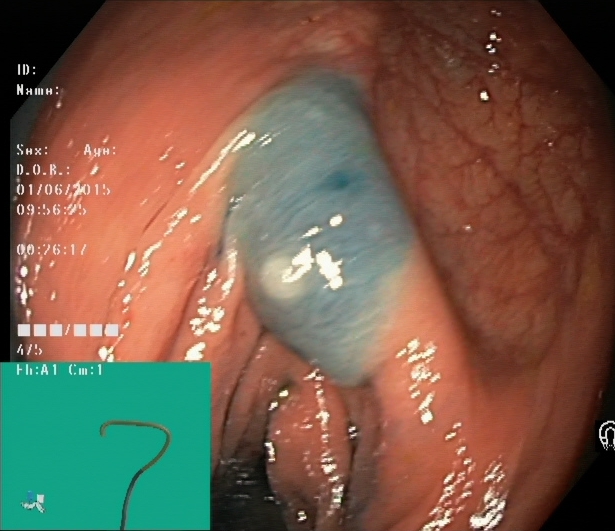Dyed and lifted polyp (pre-resection).